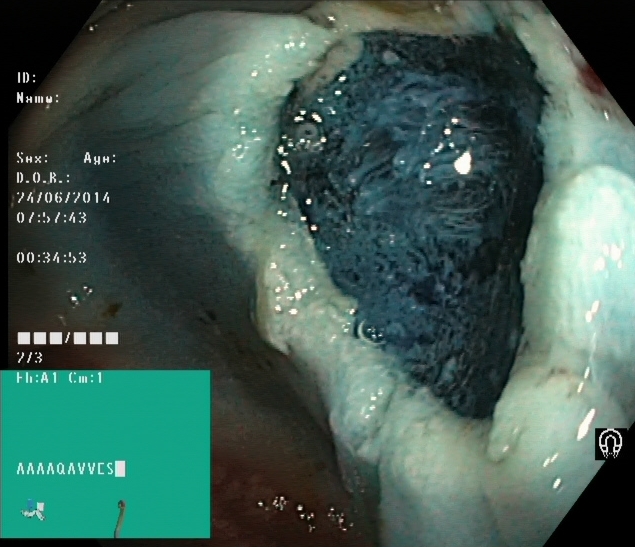modality: lower gastrointestinal endoscopy | finding: dyed resection margins (post-polypectomy)